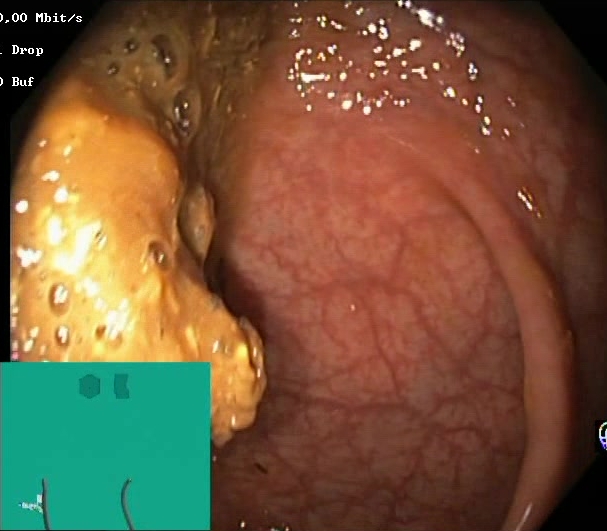modality: lower gastrointestinal endoscopy; tract: lower GI tract; finding: BBPS score 0–1 (inadequate preparation)